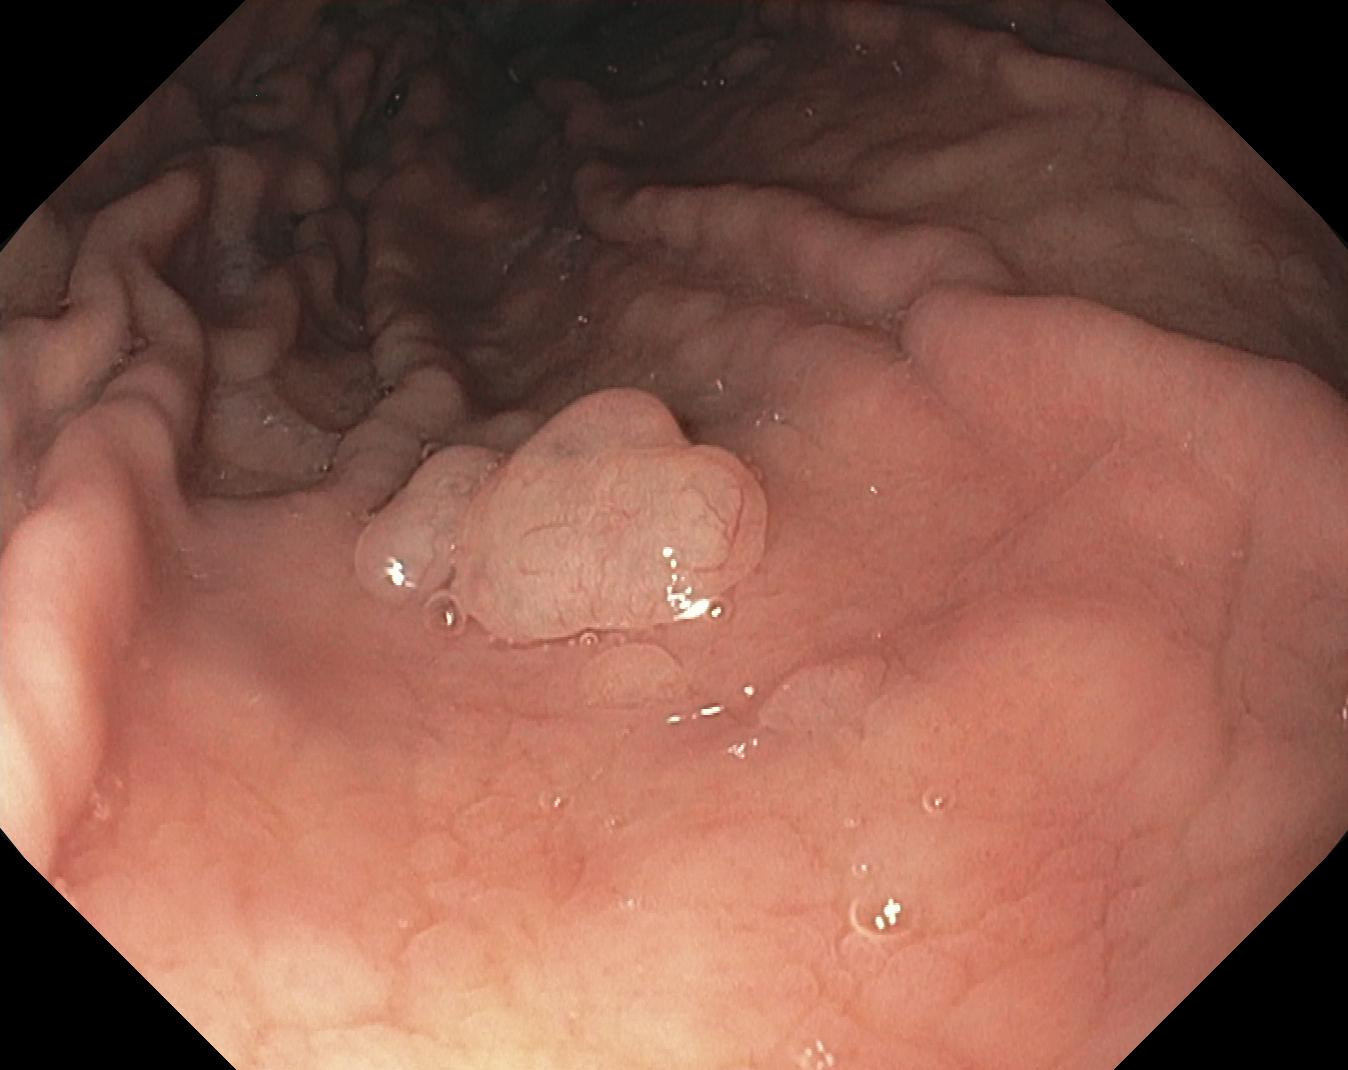Lower-GI endoscopy. Tract: lower GI tract. Finding: colorectal polyp(s).